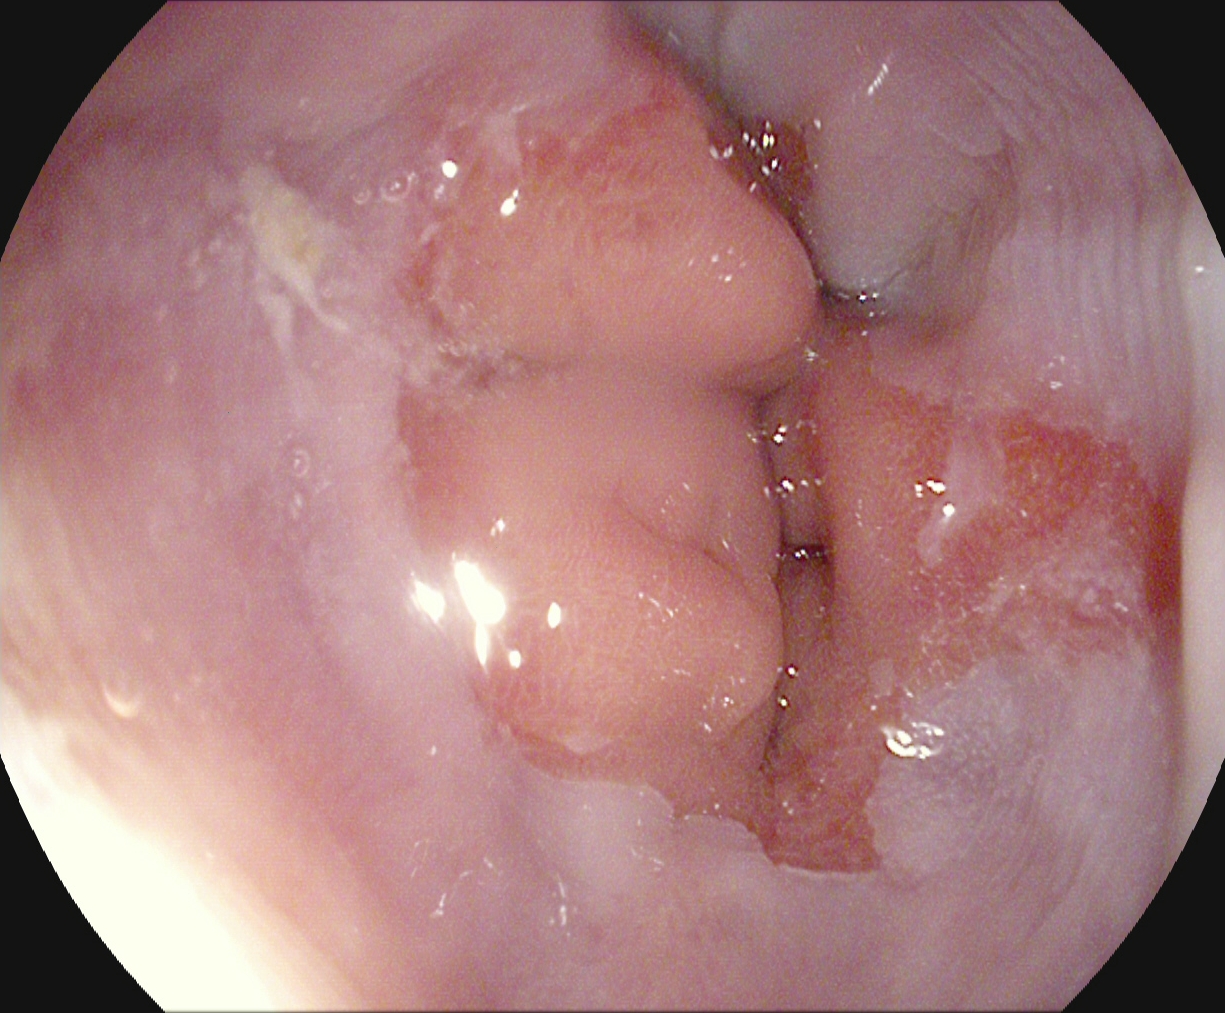This endoscopic image of the upper GI tract shows reflux esophagitis, LA grade A.